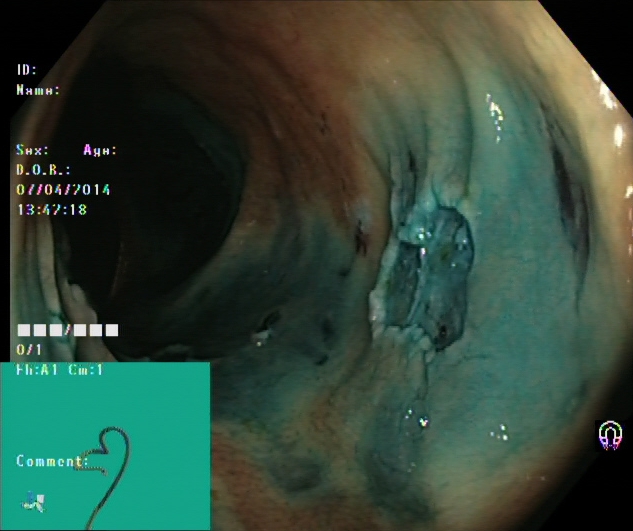Dyed resection margins (post-polypectomy).